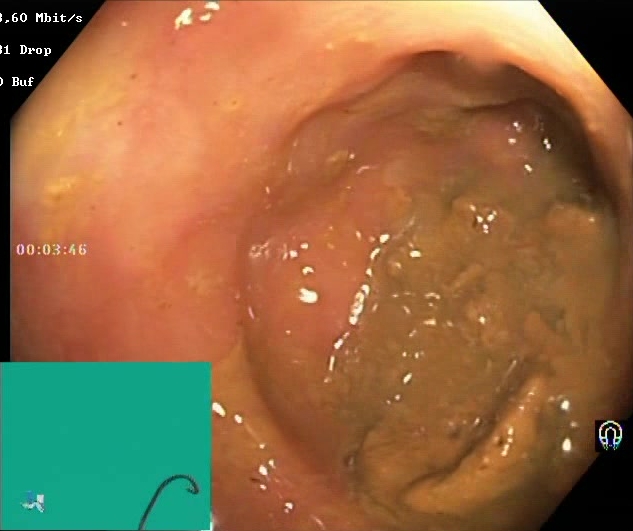Lower-GI endoscopy — BBPS score 0–1 (inadequate preparation).